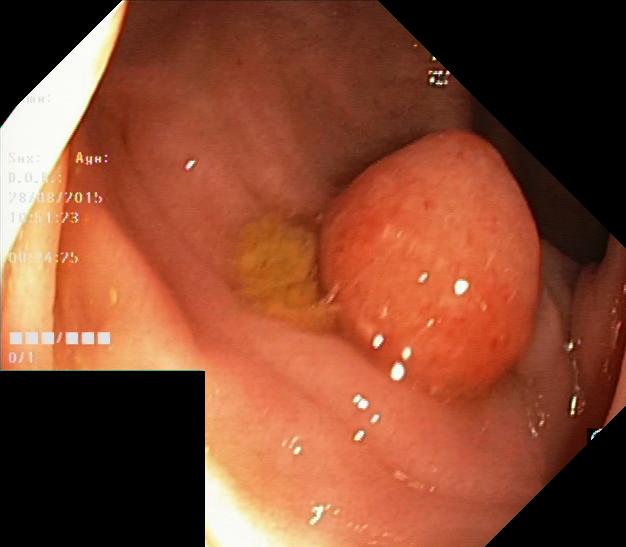This endoscopy frame shows colorectal polyp(s).